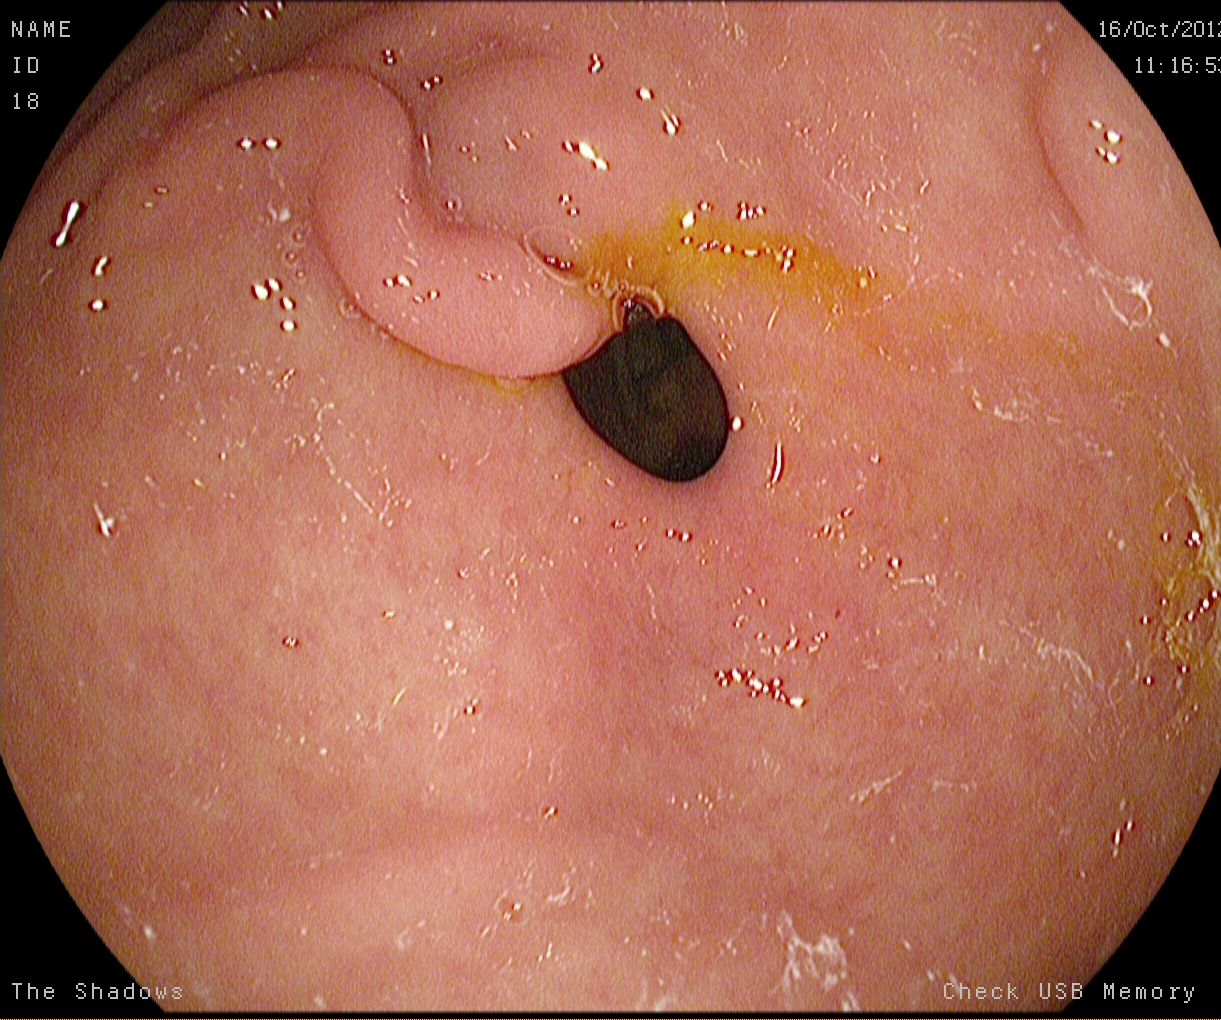Pylorus.